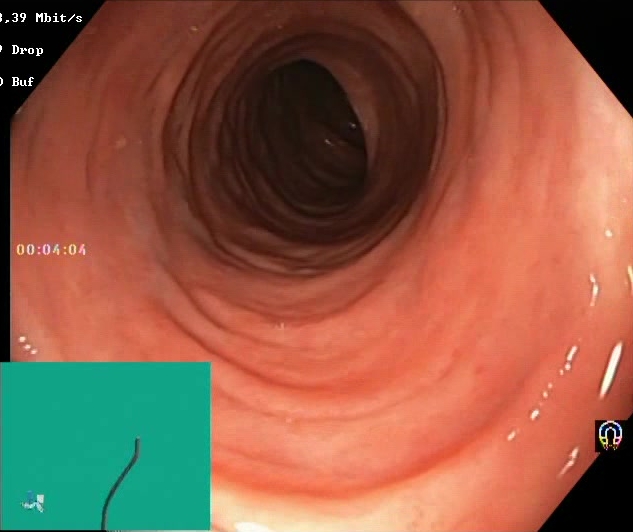Lower-GI endoscopy — Boston Bowel Preparation Scale score 2–3 (adequate preparation).